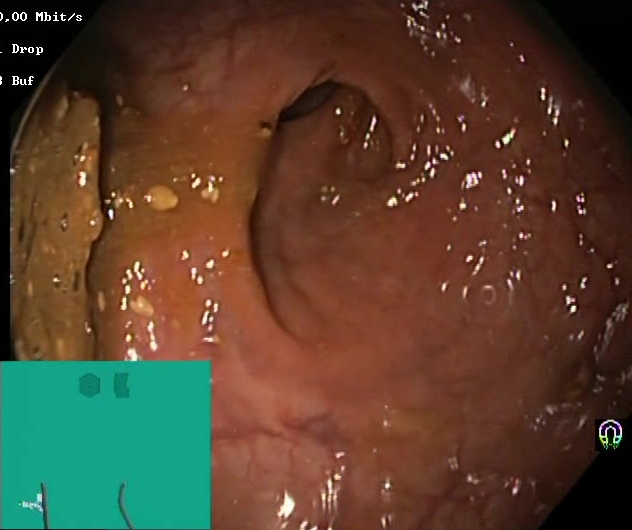This endoscopic image of the lower GI tract shows Boston Bowel Preparation Scale score 0–1 (inadequate preparation).